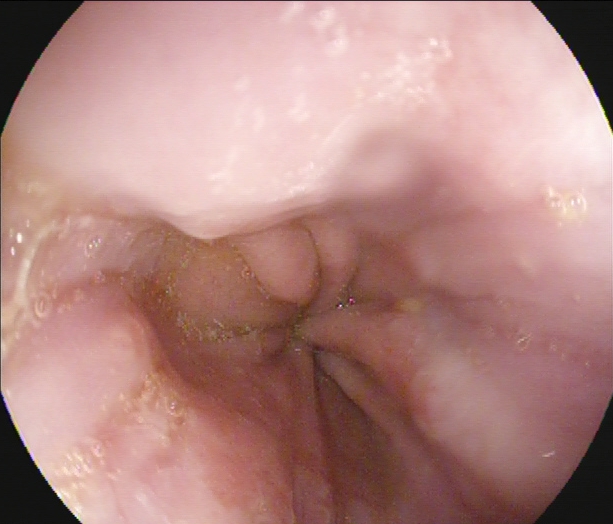PROCEDURE: Upper-GI endoscopy.
FINDINGS: Z-line (gastroesophageal junction).